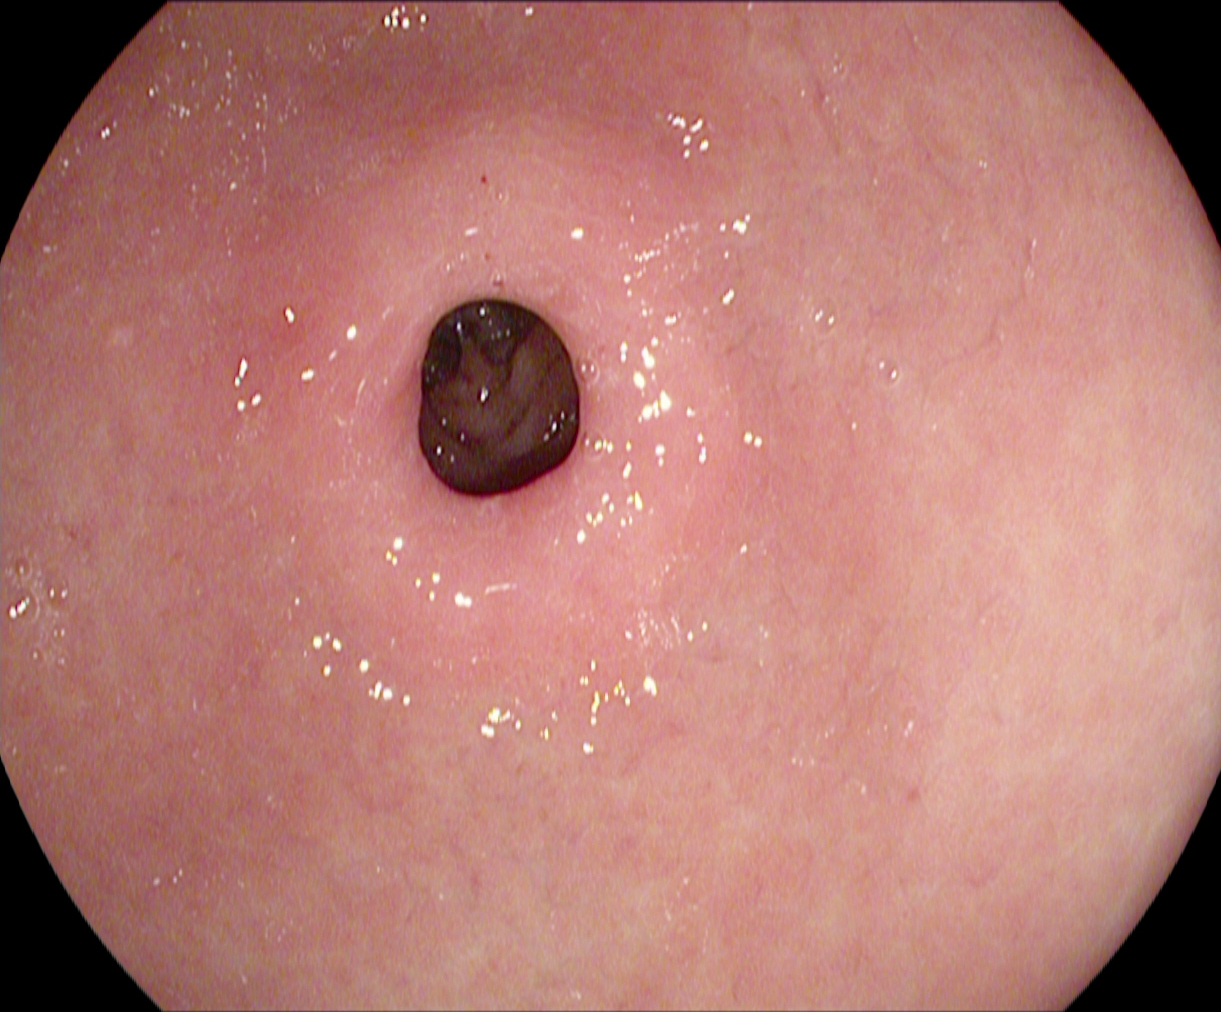Esophagogastroduodenoscopy. Tract: upper GI tract. Anatomical landmark. Finding: pylorus.